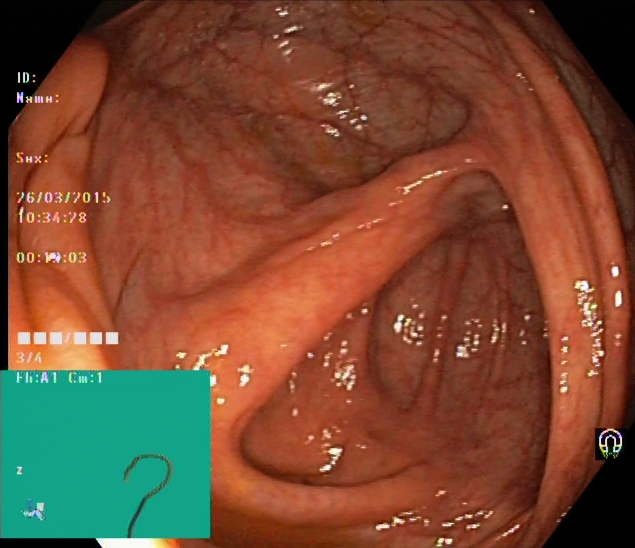Lower-GI endoscopy — cecum.